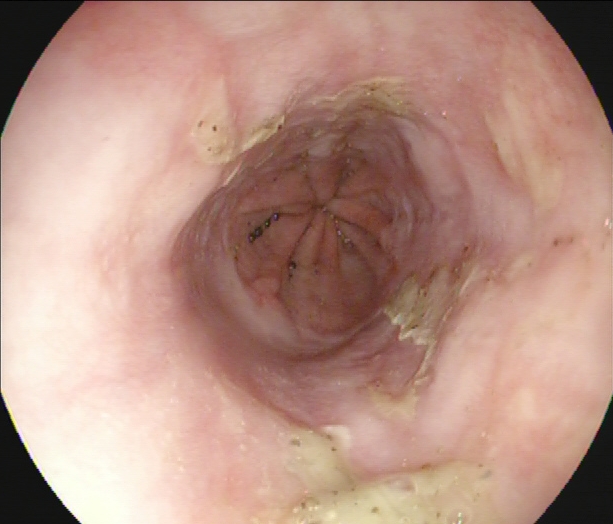Gastroscopy. Tract: upper GI tract. Pathological finding. Finding: reflux esophagitis, Los Angeles grade B–D.